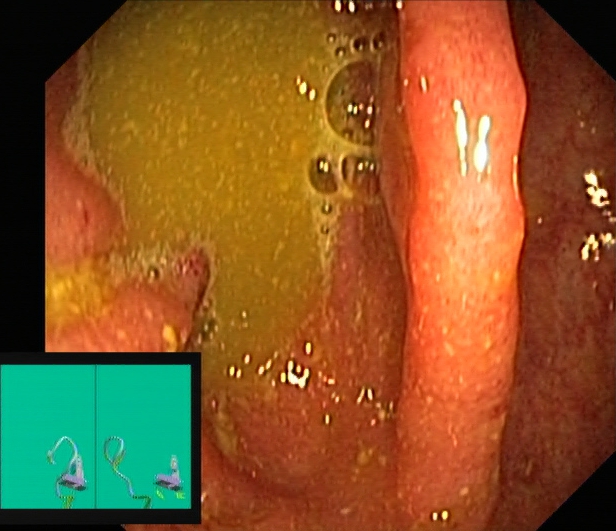This endoscopic image of the lower GI tract shows Boston Bowel Preparation Scale score 0–1 (inadequate preparation).